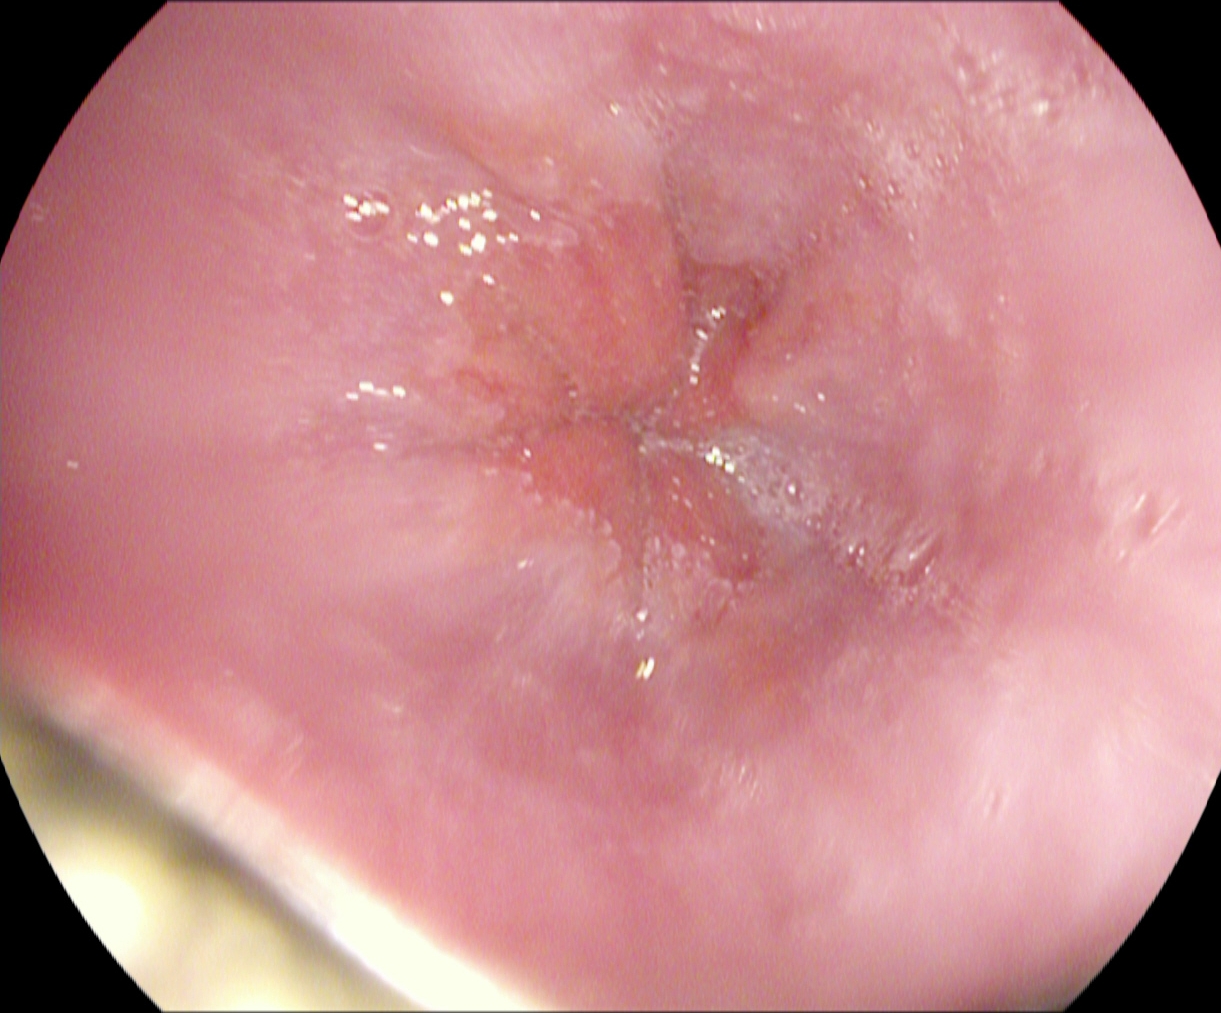PROCEDURE: Gastroscopy.
CATEGORY: Anatomical landmark.
FINDINGS: Z-line (gastroesophageal junction).